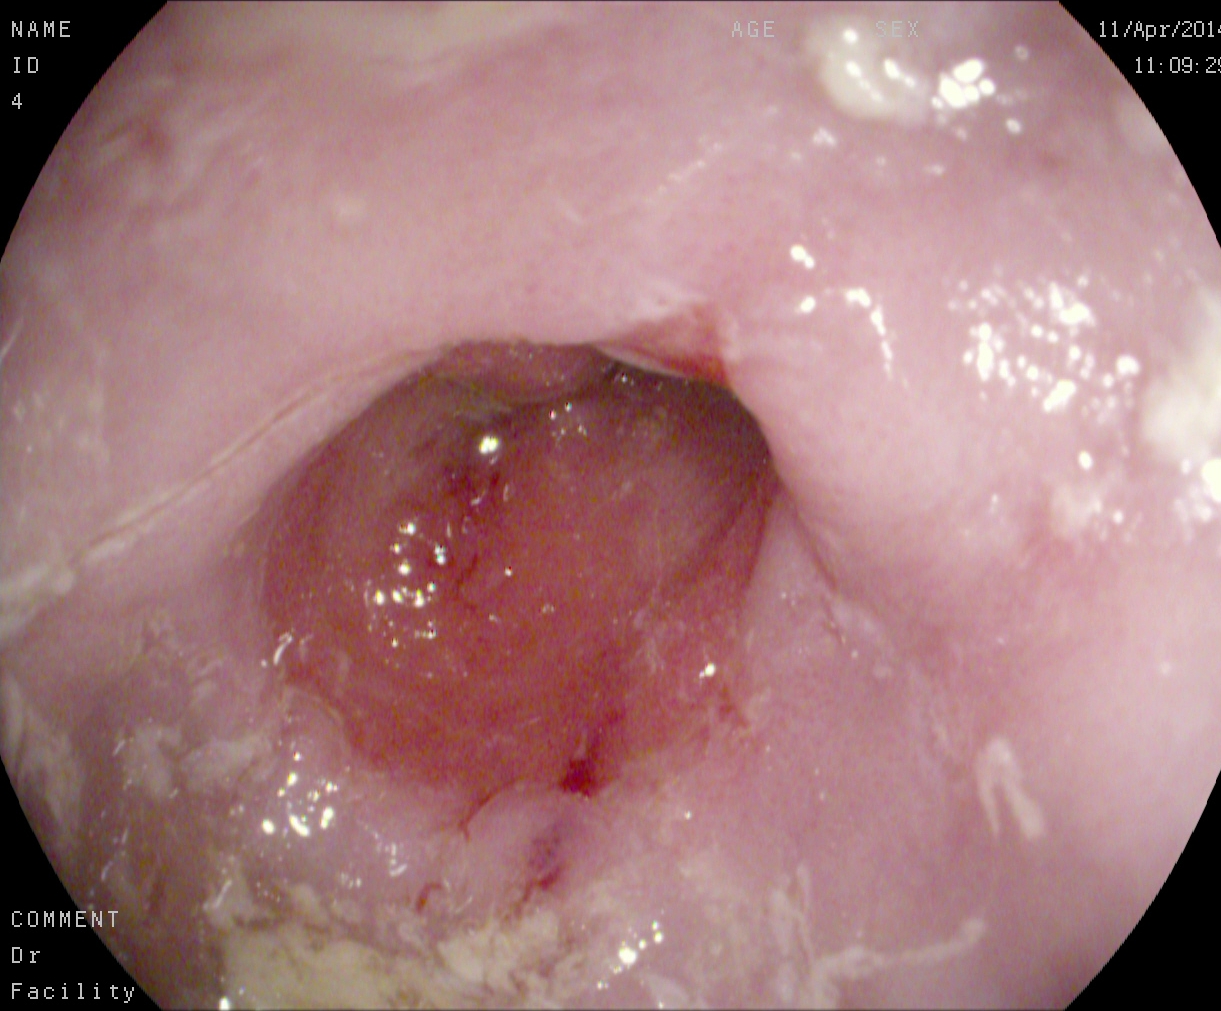modality: gastroscopy | tract: upper GI tract | category: pathological finding | finding: reflux esophagitis, Los Angeles grade A